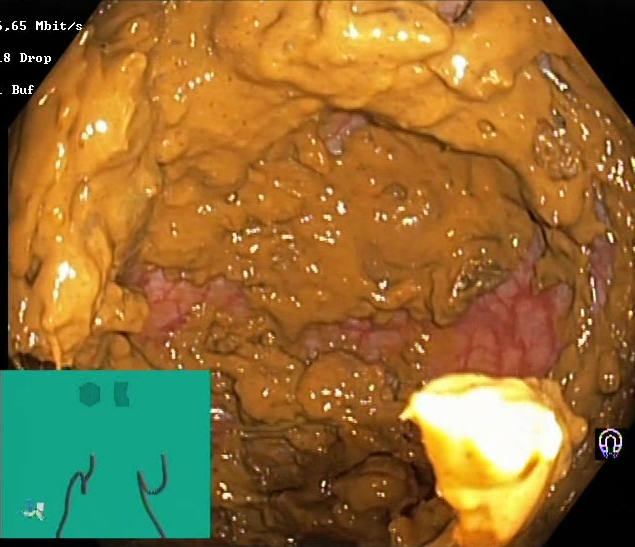BBPS score 0–1 (inadequate preparation).